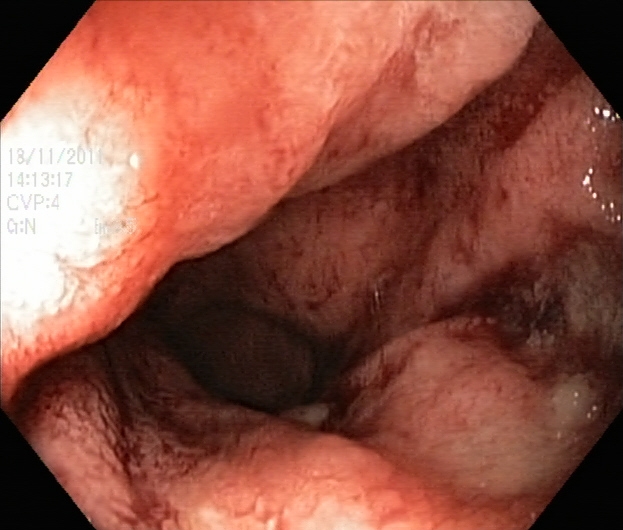This endoscopic image of the lower GI tract shows ulcerative colitis, Mayo endoscopic subscore 2.